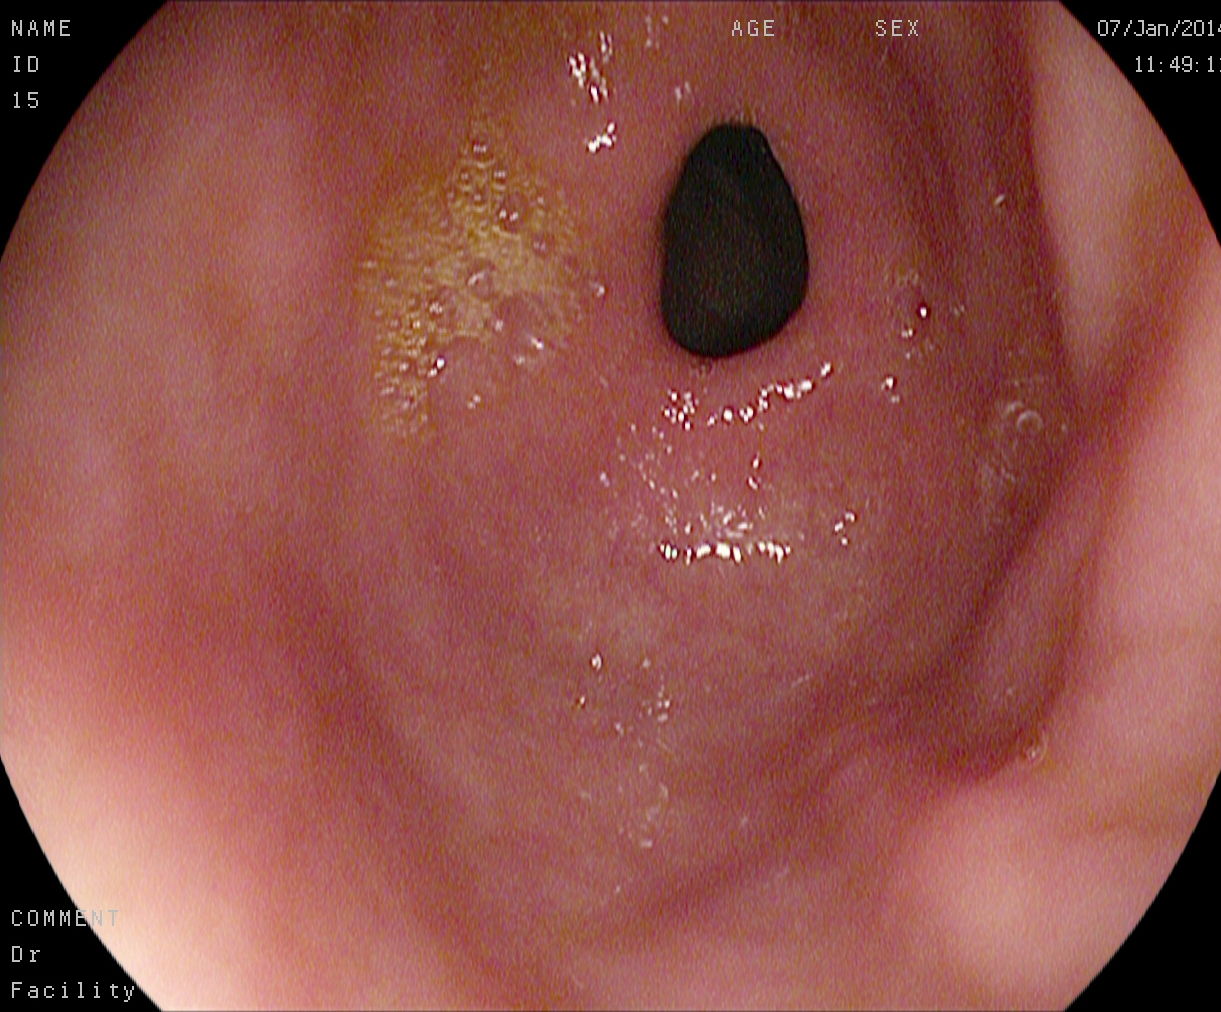Gastroscopy — pylorus.